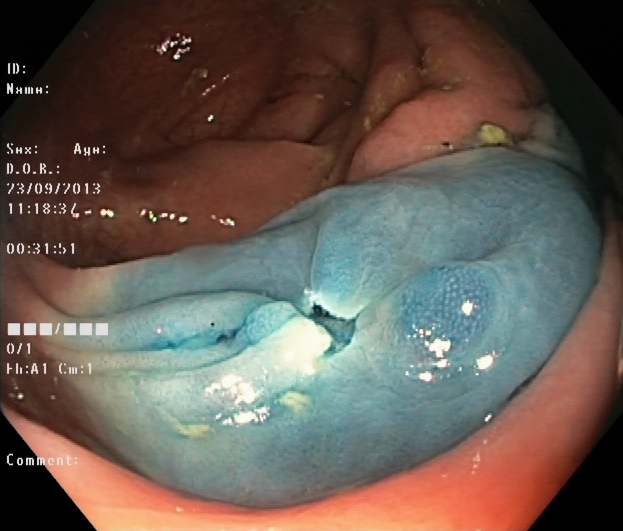{"modality": "lower gastrointestinal endoscopy", "tract": "lower GI tract", "category": "therapeutic intervention", "finding": "dyed resection margins (post-polypectomy)"}